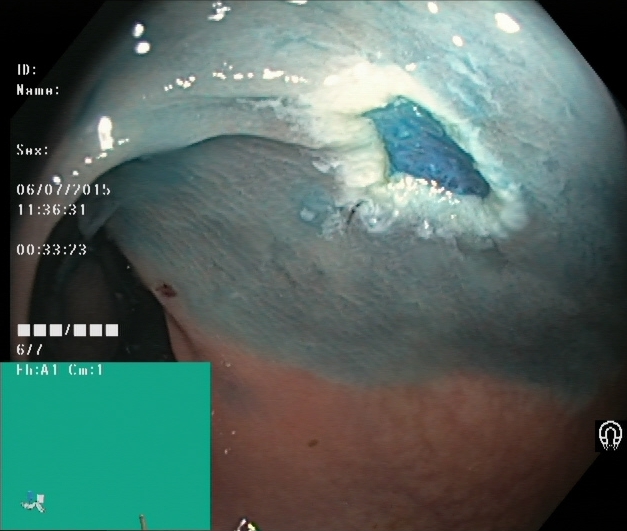This endoscopy frame of the lower GI tract shows dyed resection margins (post-polypectomy).